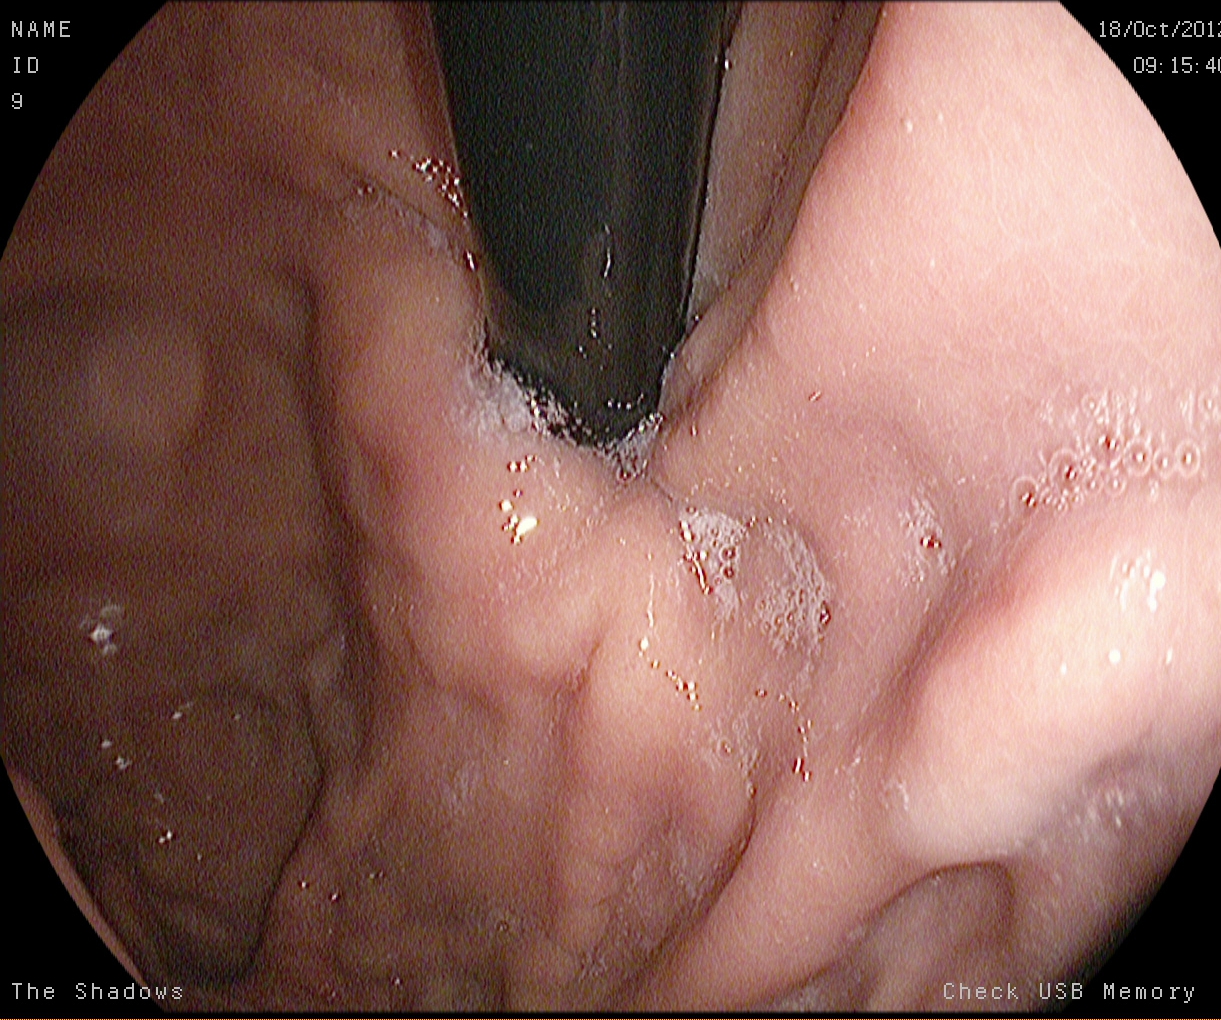{"modality": "upper-GI endoscopy", "category": "anatomical landmark", "finding": "stomach in retroflexion"}